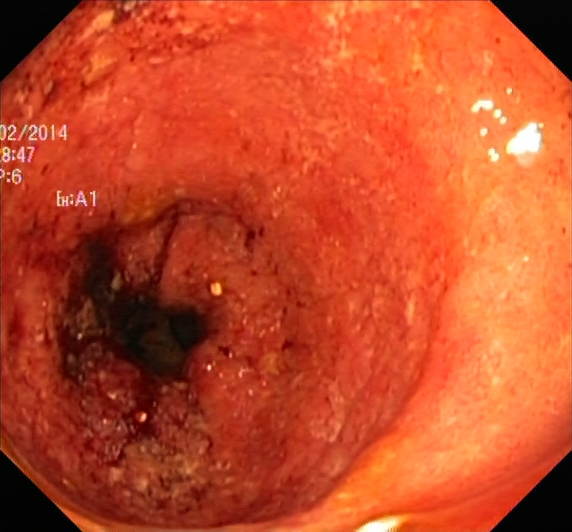Lower-GI endoscopy. Finding: UC, Mayo endoscopic subscore 2–3.